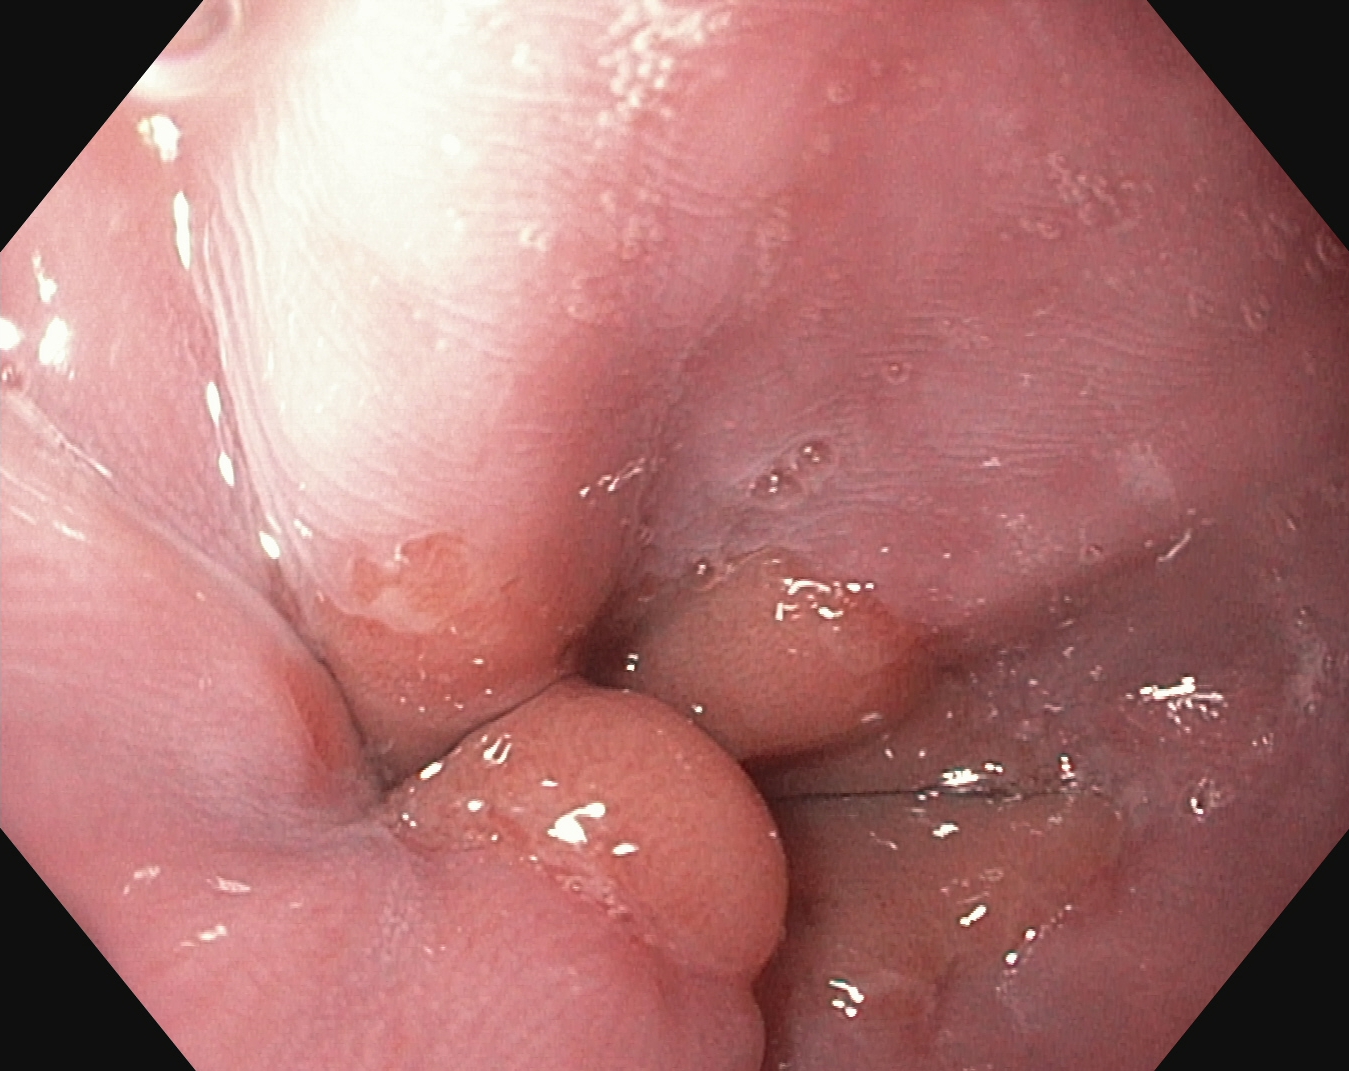Gastroscopy. Anatomical landmark. Finding: Z-line (gastroesophageal junction).